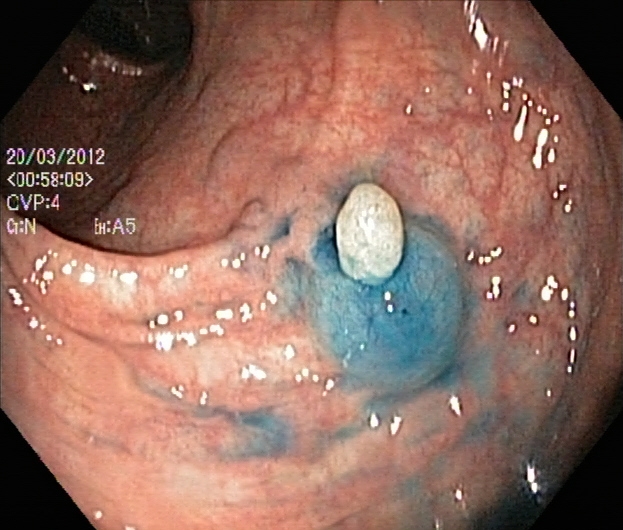modality: lower-GI endoscopy | finding: dyed and lifted polyp (pre-resection)